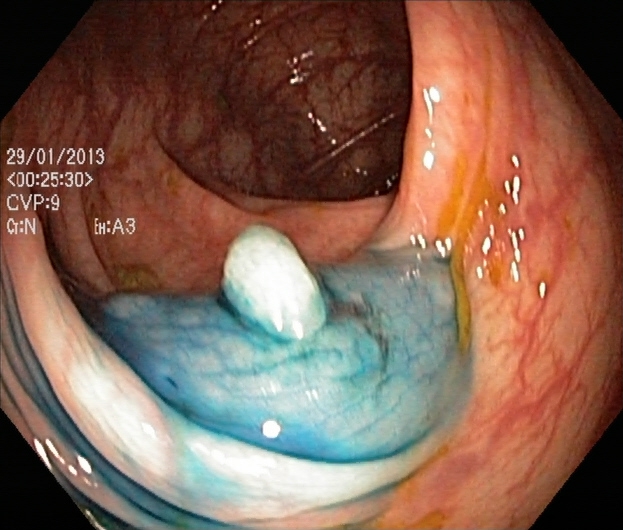PROCEDURE: Lower-GI endoscopy.
CATEGORY: Therapeutic intervention.
FINDINGS: Dyed and lifted polyp (pre-resection).